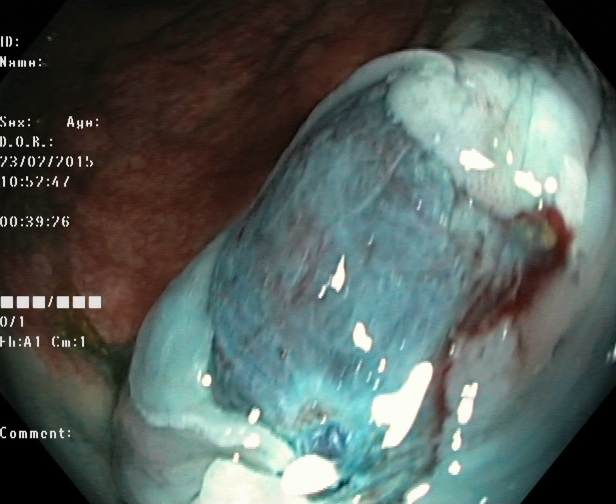PROCEDURE: Colonoscopy.
CATEGORY: Therapeutic intervention.
FINDINGS: Dyed resection margins (post-polypectomy).